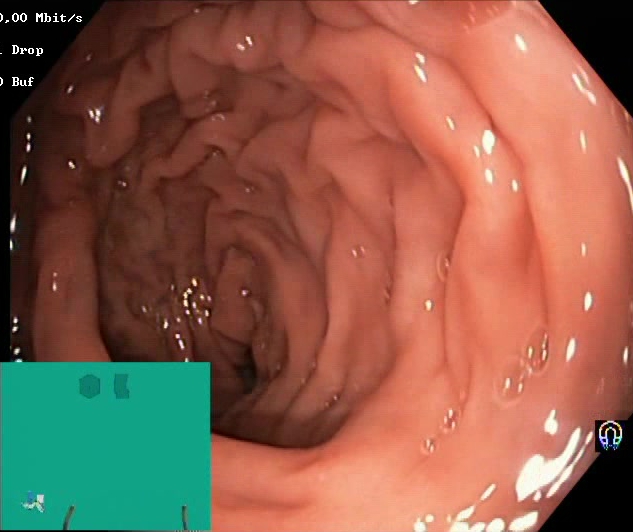This endoscopy frame shows Boston Bowel Preparation Scale score 2–3 (adequate preparation).